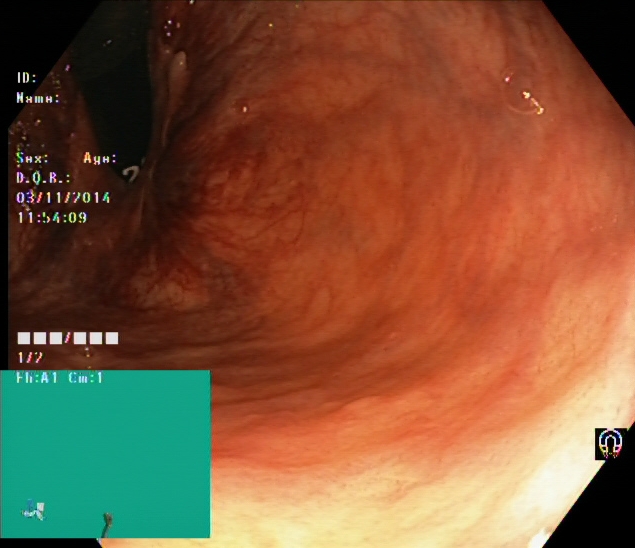Rectum in retroflexion.